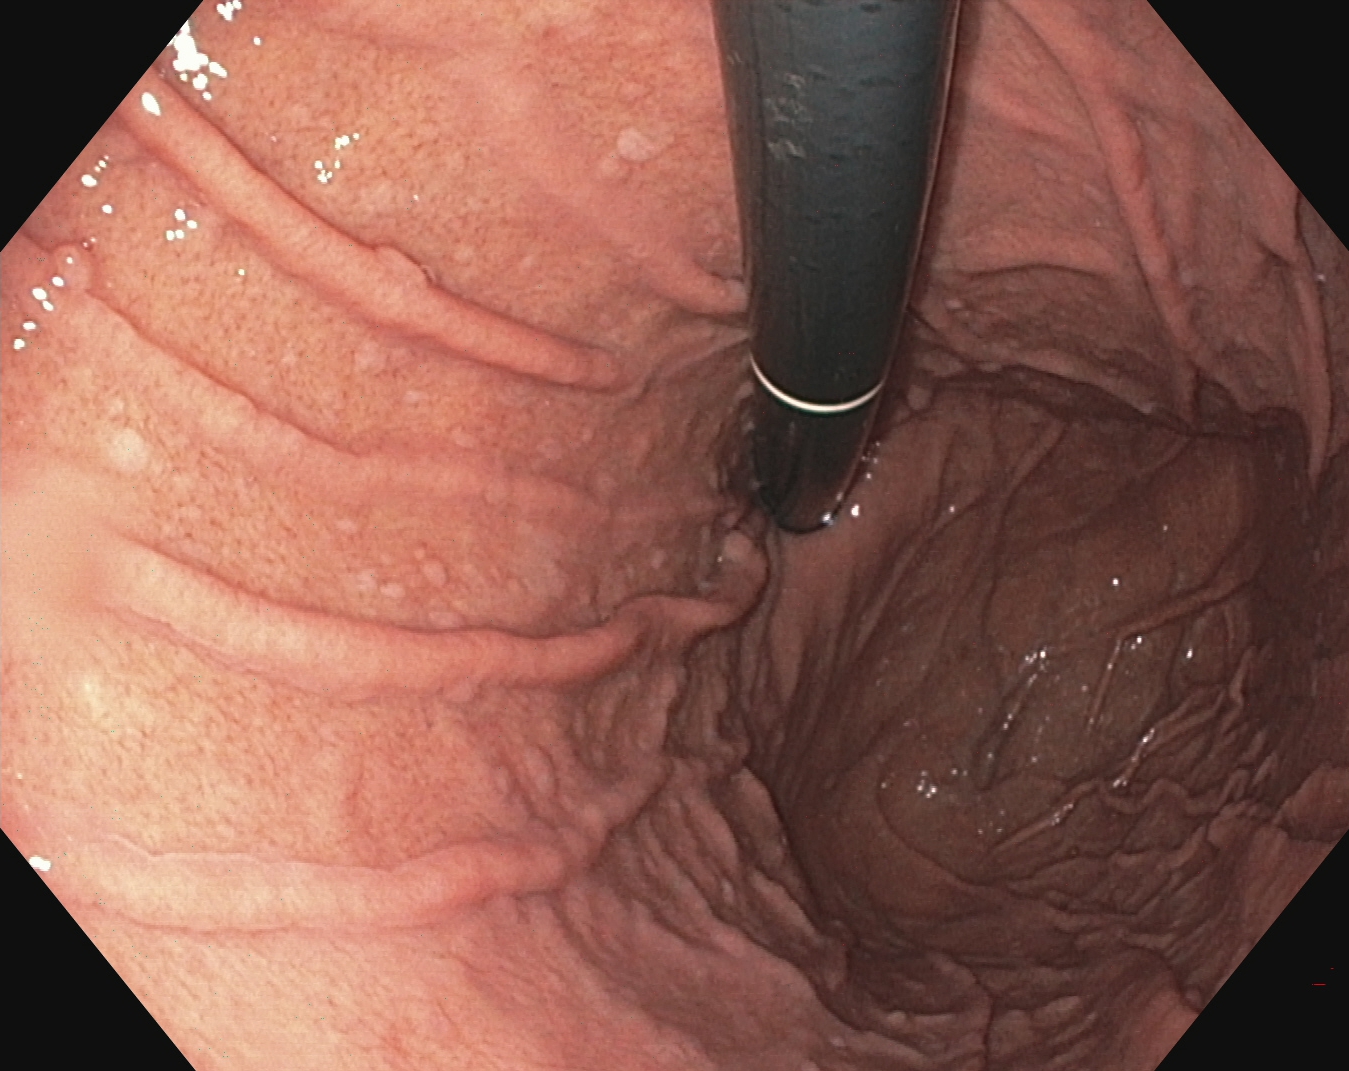Endoscopic image of the upper GI tract showing stomach in retroflexion.